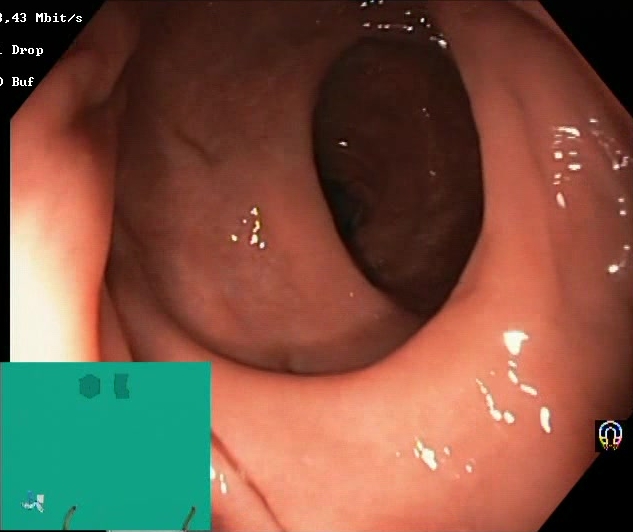{"modality": "colonoscopy", "tract": "lower GI tract", "category": "mucosal-view quality", "finding": "Boston Bowel Preparation Scale score 2\u20133 (adequate preparation)"}